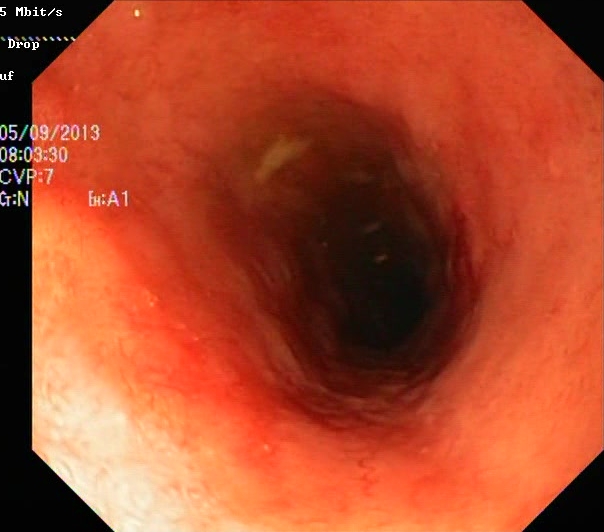Colonoscopy — UC, Mayo endoscopic subscore 2.